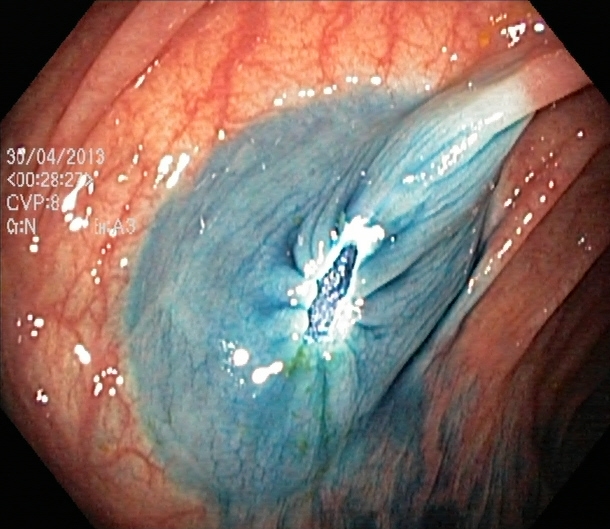{"modality": "colonoscopy", "finding": "dyed resection margins (post-polypectomy)"}